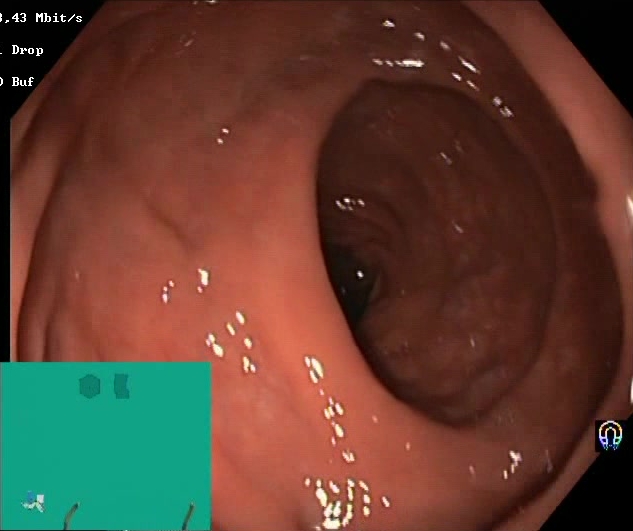modality: lower gastrointestinal endoscopy
category: mucosal-view quality
finding: Boston Bowel Preparation Scale score 2–3 (adequate preparation)